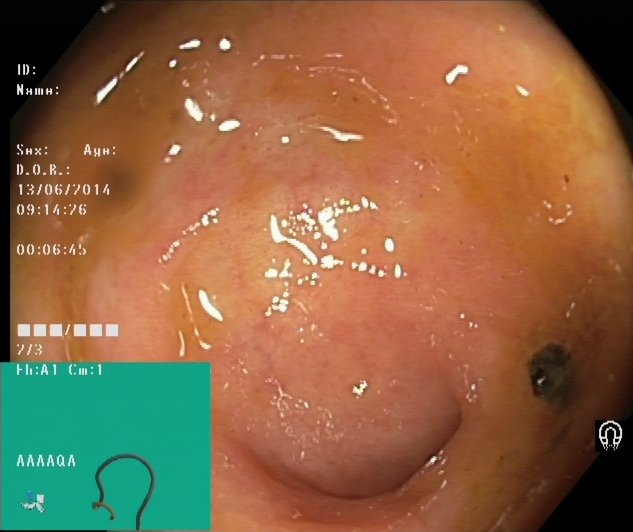This endoscopy frame shows cecum.